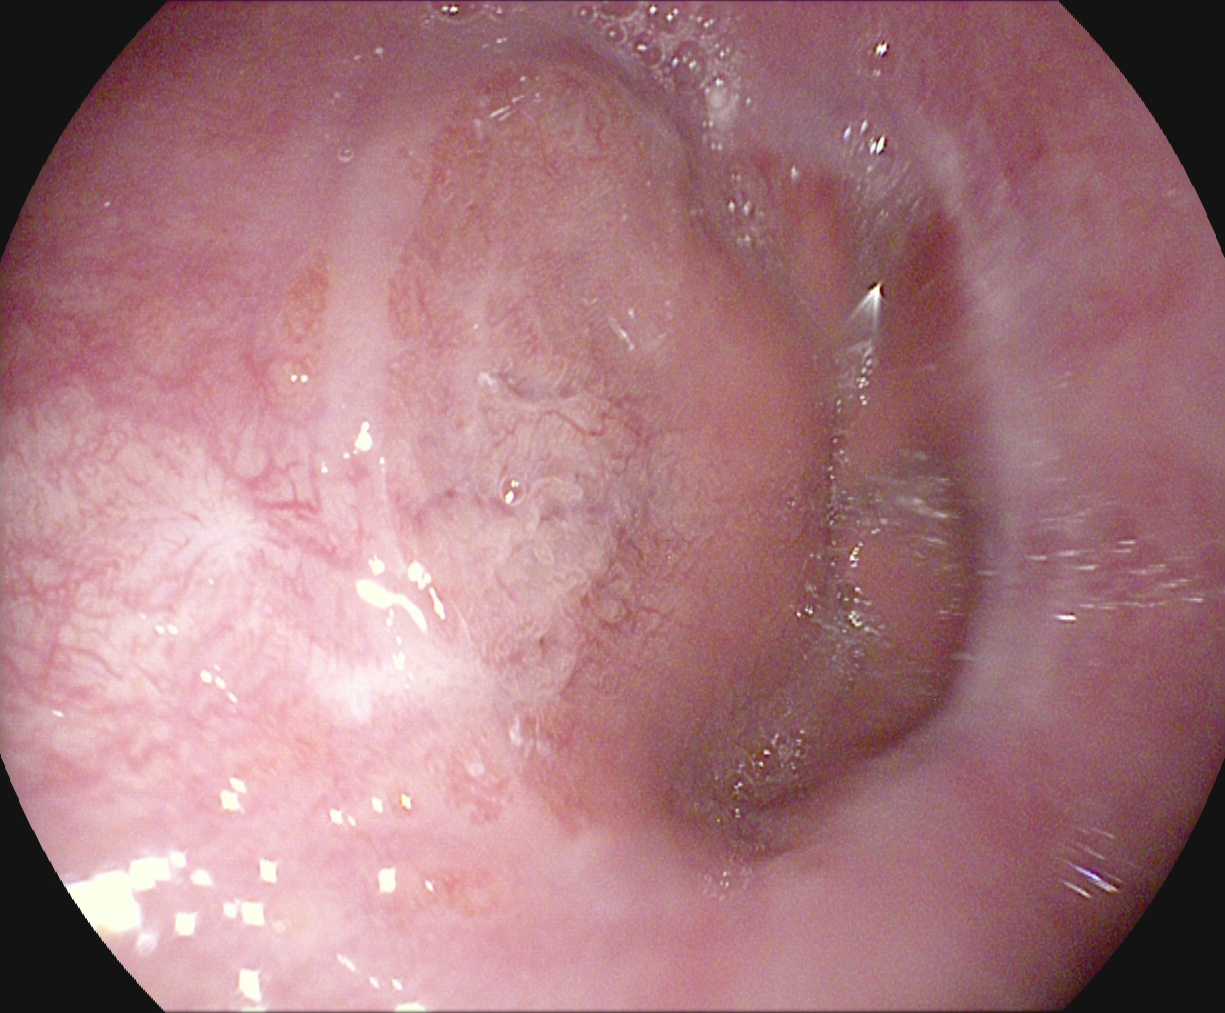Endoscopic frame of the upper GI tract showing Barrett's esophagus, short segment.